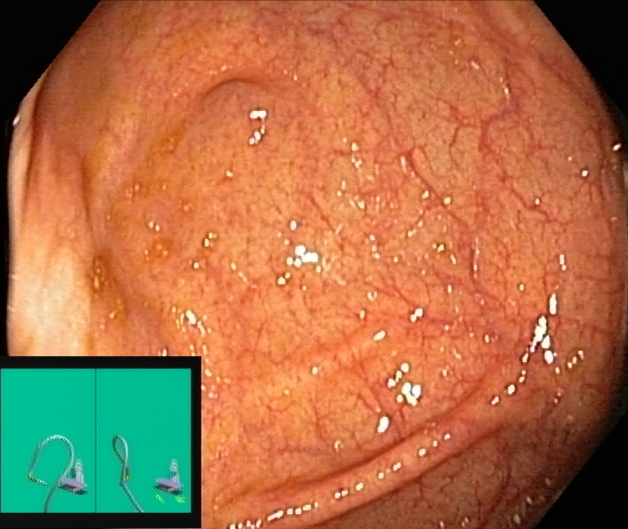cecum.